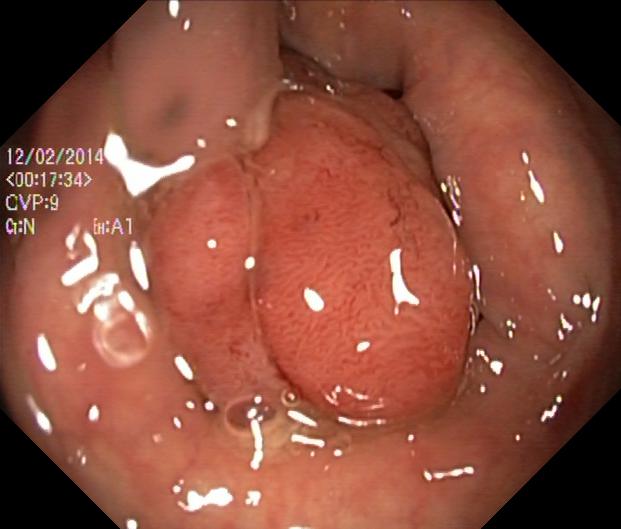PROCEDURE: Lower-GI endoscopy.
FINDINGS: Colorectal polyp(s).